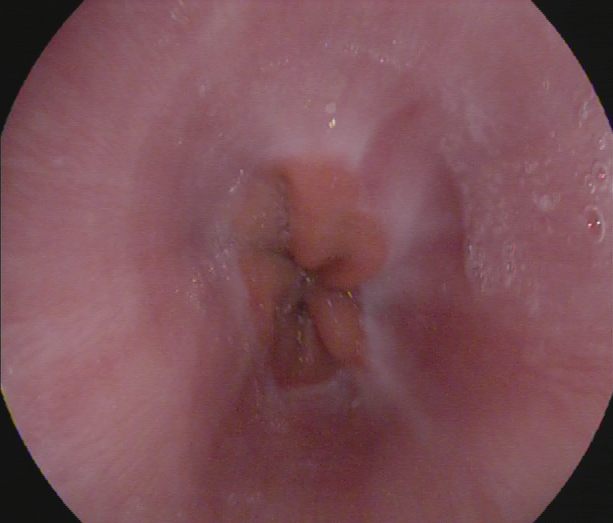{"modality": "esophagogastroduodenoscopy", "tract": "upper GI tract", "finding": "Z-line (gastroesophageal junction)"}